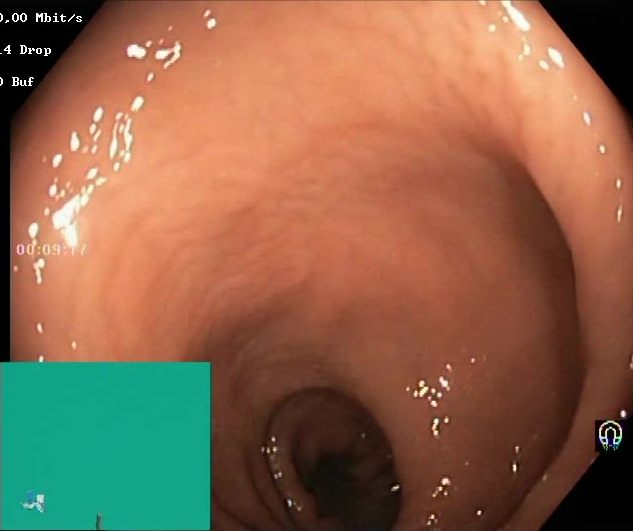Lower gastrointestinal endoscopy — BBPS score 2–3 (adequate preparation).